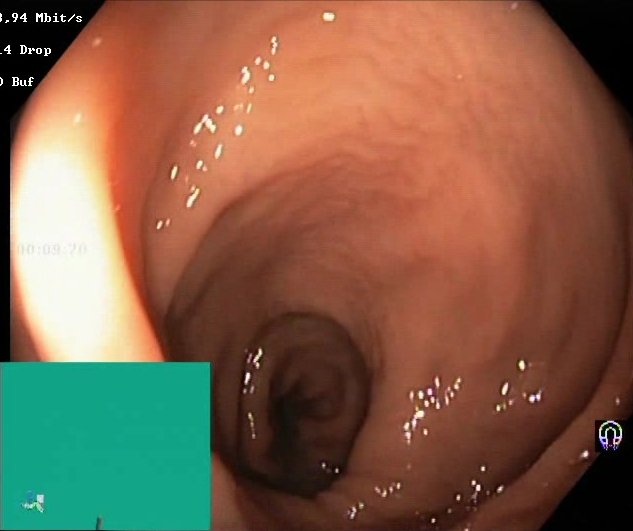BBPS score 2–3 (adequate preparation).